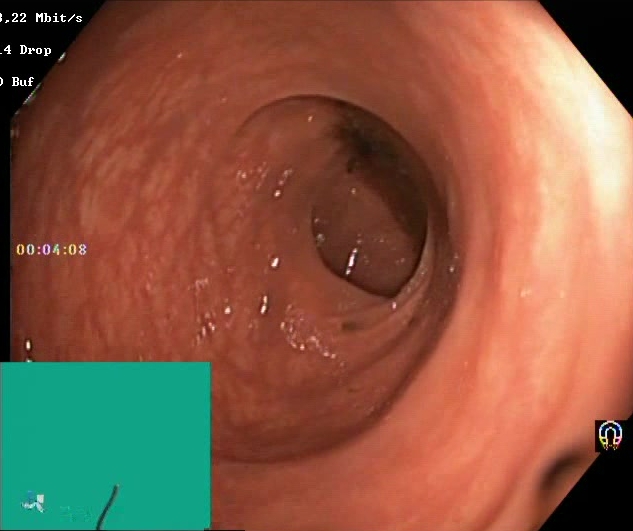{"modality": "lower-GI endoscopy", "finding": "Boston Bowel Preparation Scale score 0\u20131 (inadequate preparation)"}